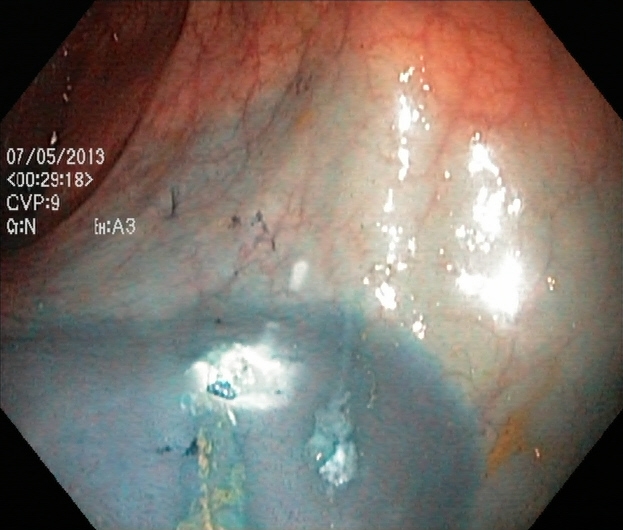Dyed resection margins (post-polypectomy).